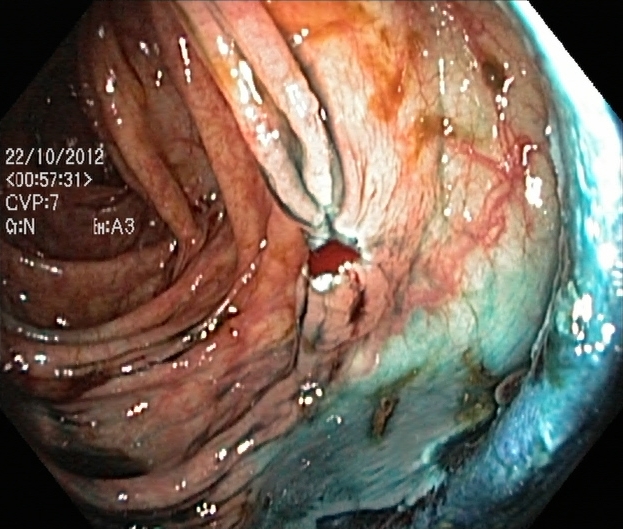Lower-GI endoscopy. Finding: dyed resection margins (post-polypectomy).